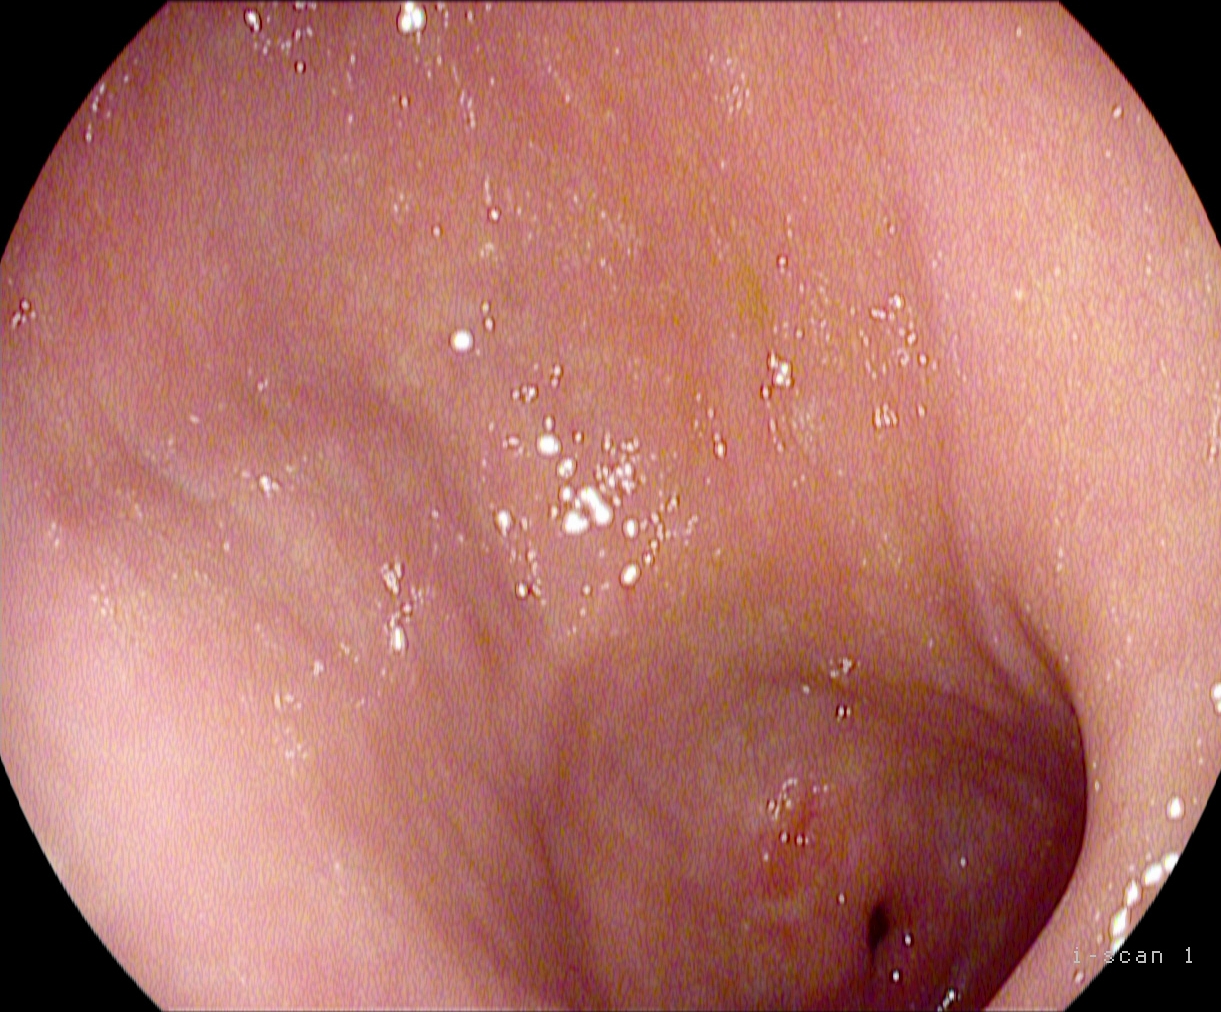{"modality": "esophagogastroduodenoscopy", "finding": "pylorus"}